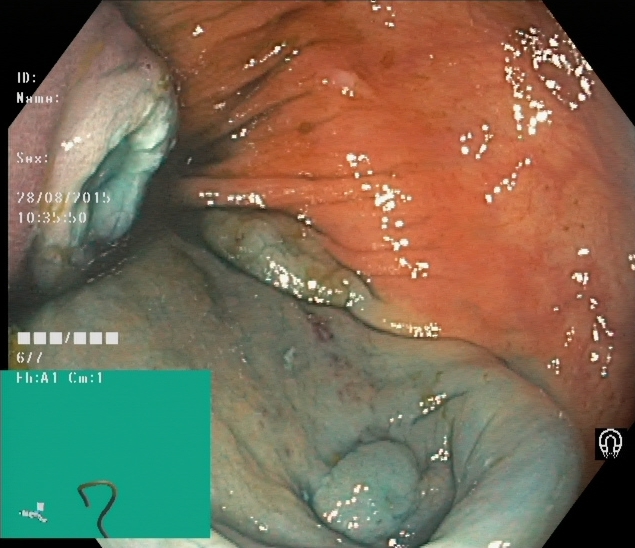Colonoscopy — dyed resection margins (post-polypectomy).